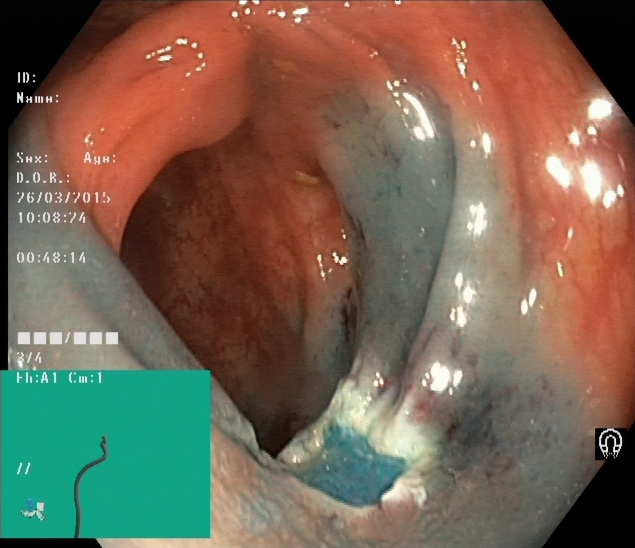Colonoscopy image of the lower GI tract showing dyed resection margins (post-polypectomy).